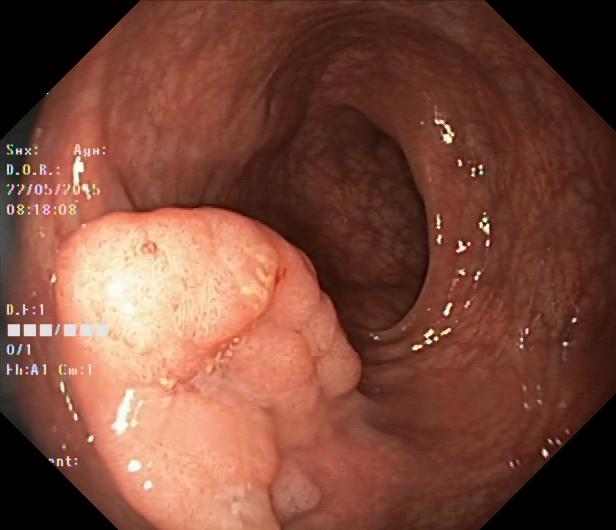modality: lower-GI endoscopy
tract: lower GI tract
finding: colorectal polyp(s)